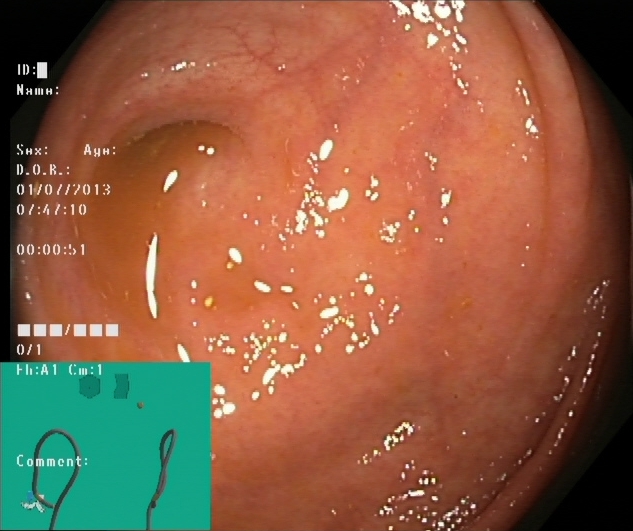{"modality": "lower gastrointestinal endoscopy", "tract": "lower GI tract", "category": "anatomical landmark", "finding": "cecum"}